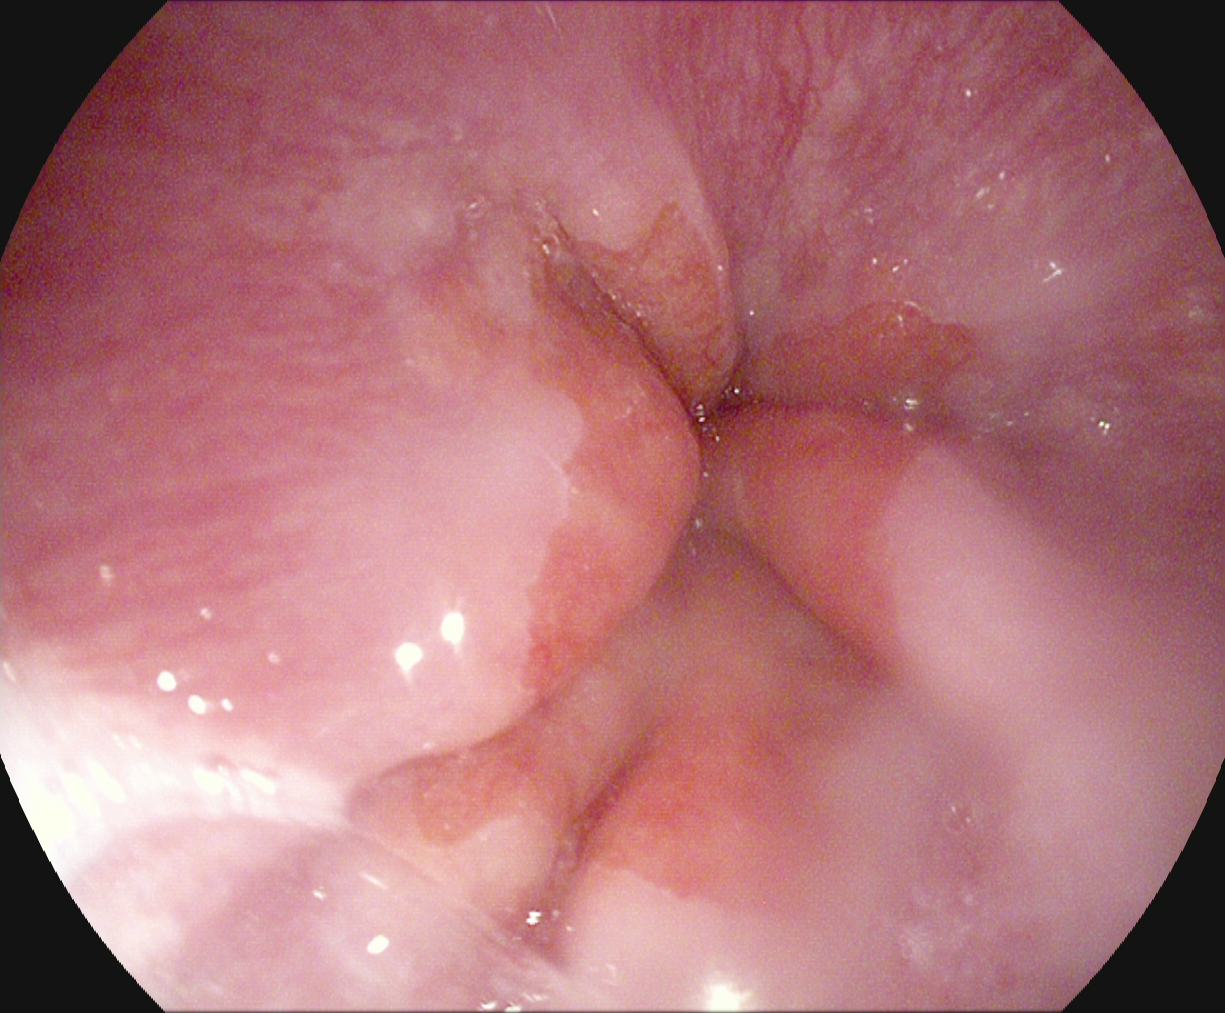PROCEDURE: Esophagogastroduodenoscopy.
CATEGORY: Anatomical landmark.
FINDINGS: Z-line (gastroesophageal junction).